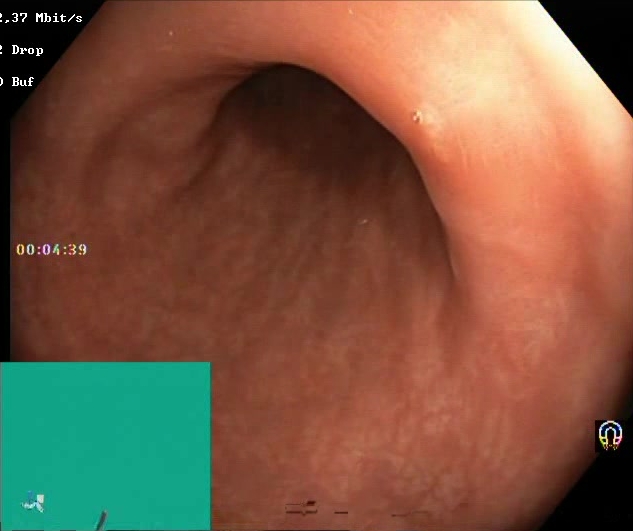This endoscopy frame of the lower GI tract shows Boston Bowel Preparation Scale score 2–3 (adequate preparation).